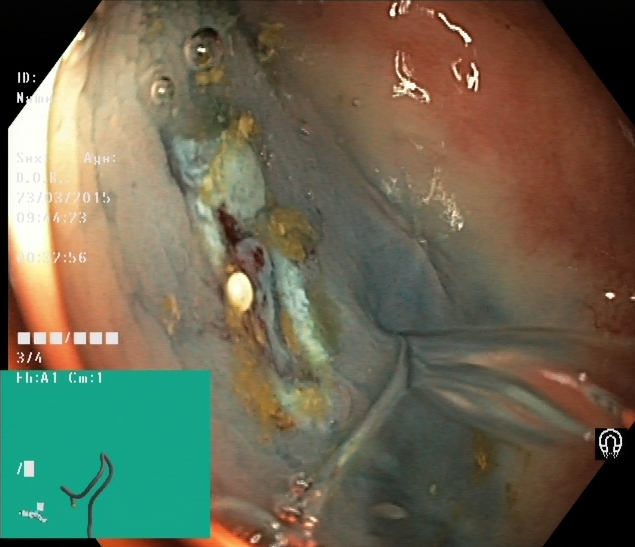Lower-GI endoscopy. Tract: lower GI tract. Finding: dyed resection margins (post-polypectomy).